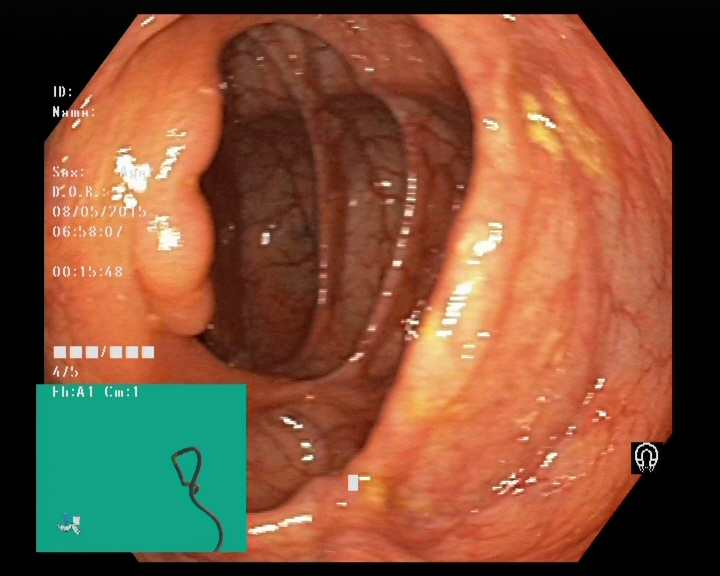This endoscopy frame shows colorectal polyp(s).